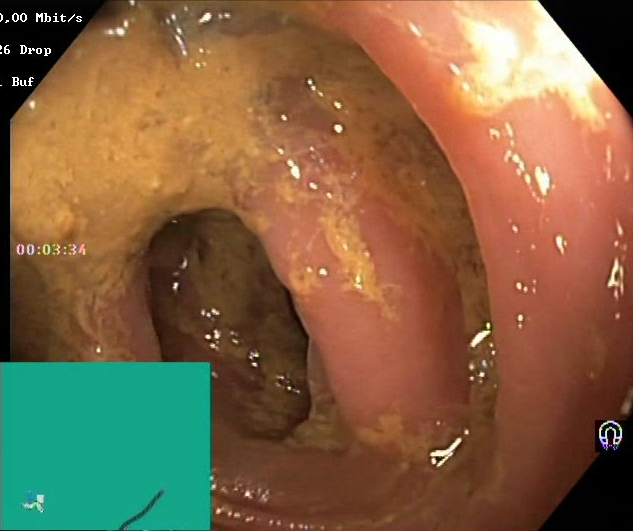This endoscopy frame shows Boston Bowel Preparation Scale score 0–1 (inadequate preparation).